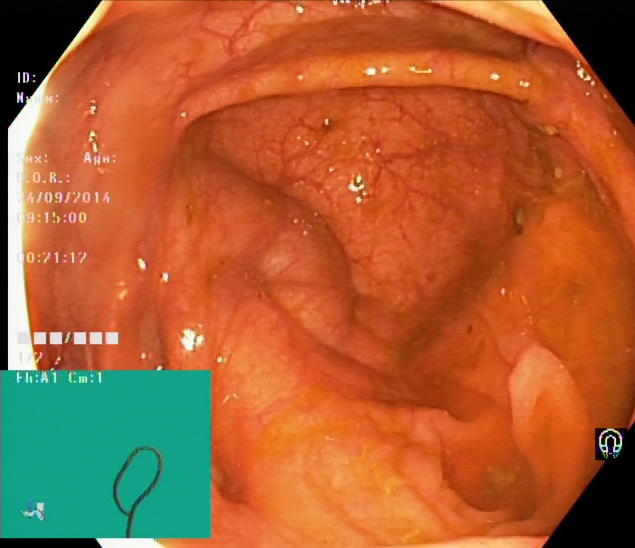Colonoscopy. Tract: lower GI tract. Finding: cecum.